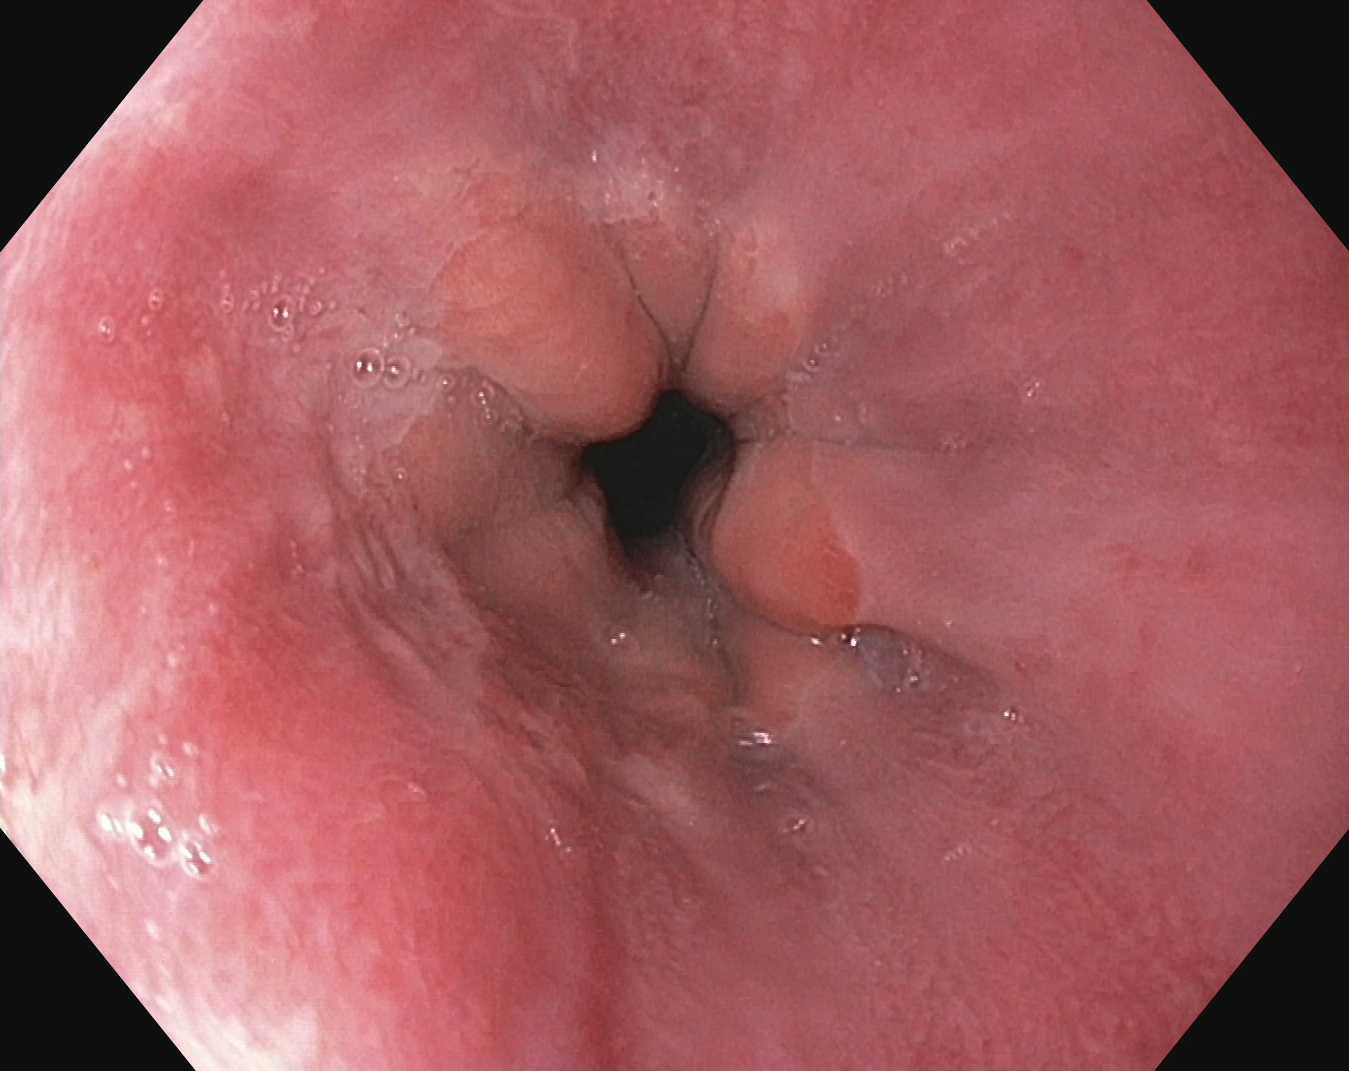PROCEDURE: Upper-GI endoscopy.
CATEGORY: Anatomical landmark.
FINDINGS: Z-line (gastroesophageal junction).